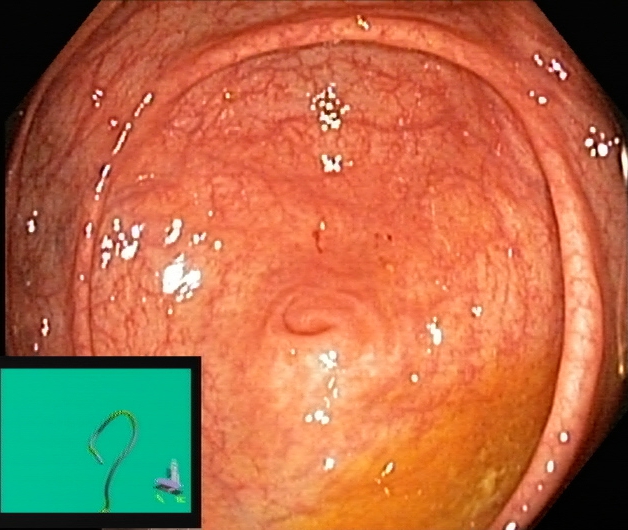This endoscopic image of the lower GI tract shows cecum.